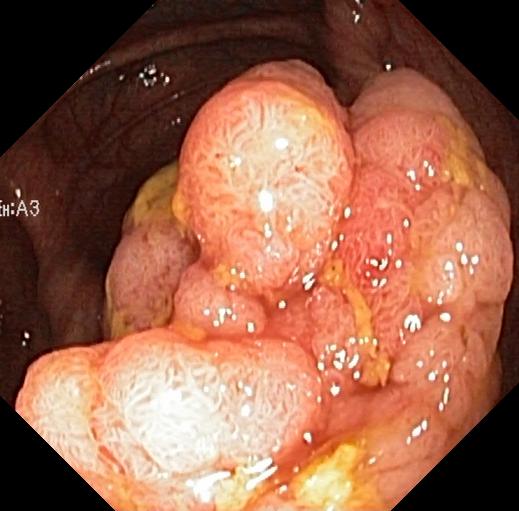Colorectal polyp(s).